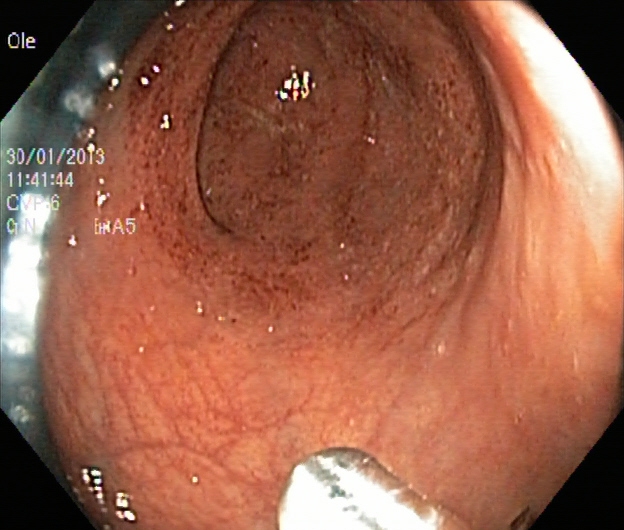Lower-GI endoscopy. Tract: lower GI tract. Finding: ulcerative colitis, Mayo endoscopic subscore 0–1.